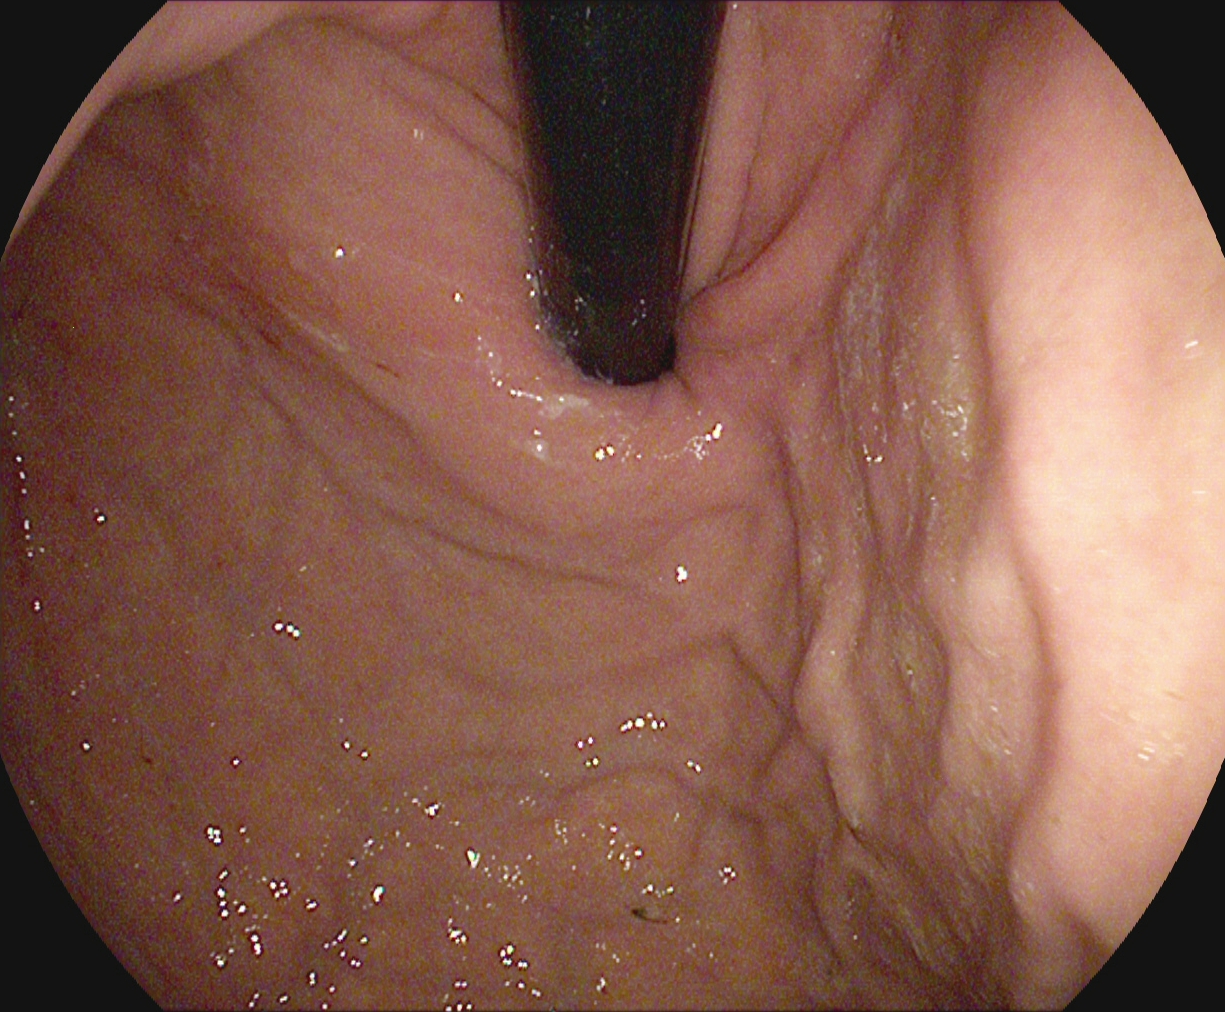Endoscopic image of the upper GI tract showing stomach in retroflexion.